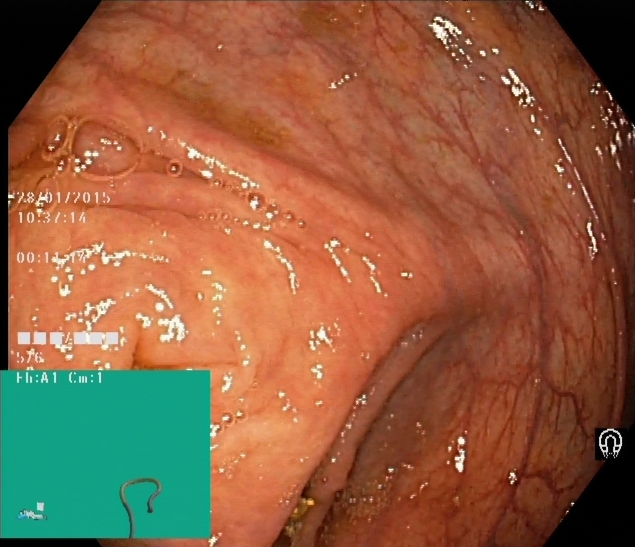Lower-GI endoscopy. Tract: lower GI tract. Finding: cecum.